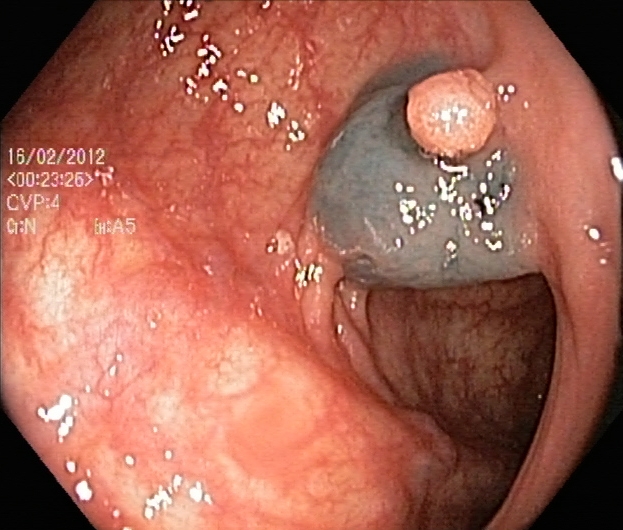Lower gastrointestinal endoscopy. Tract: lower GI tract. Finding: dyed and lifted polyp (pre-resection).